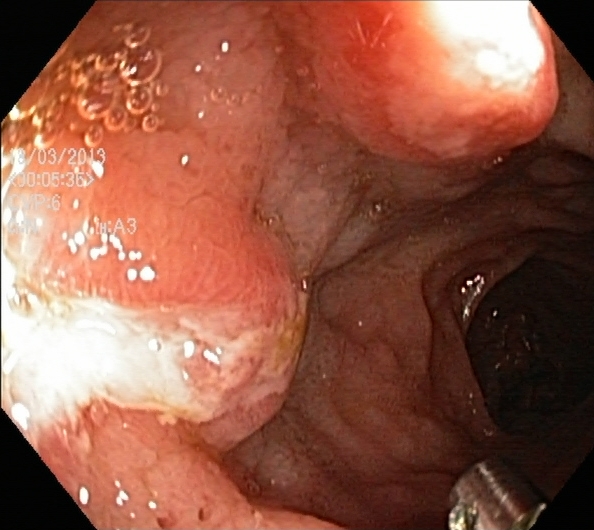PROCEDURE: Lower-GI endoscopy.
FINDINGS: Ulcerative colitis, Mayo endoscopic subscore 1.